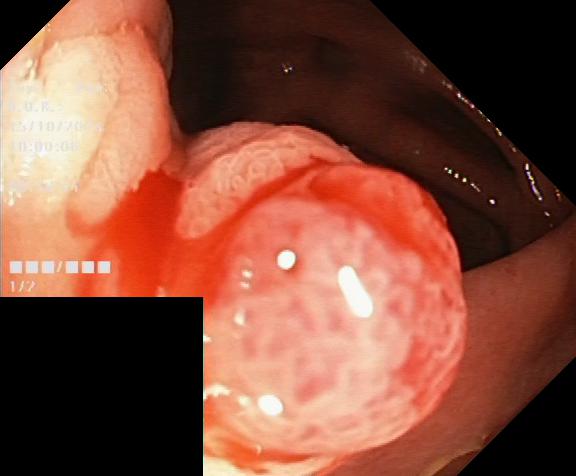Lower gastrointestinal endoscopy. Pathological finding. Finding: colorectal polyp(s).